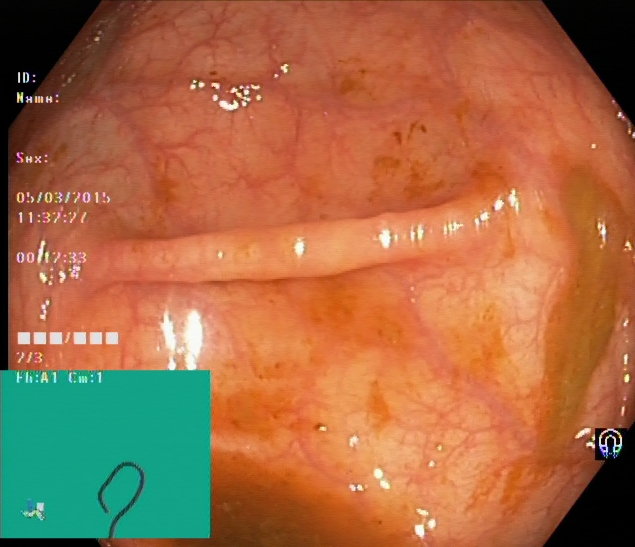Cecum.